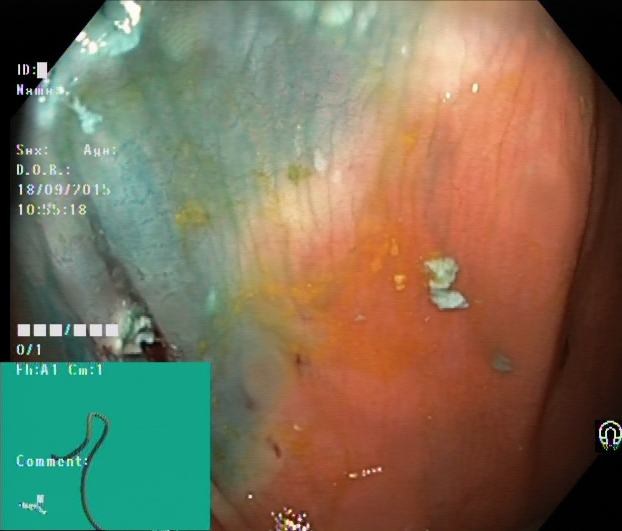{"modality": "lower-GI endoscopy", "tract": "lower GI tract", "finding": "dyed resection margins (post-polypectomy)"}